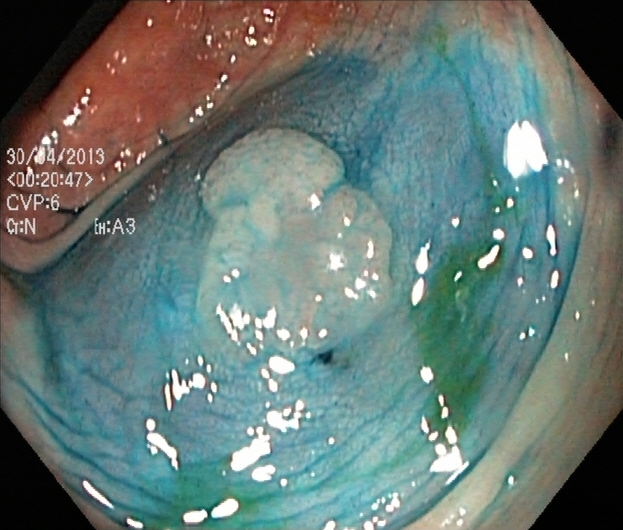Colonoscopy. Finding: dyed and lifted polyp (pre-resection).